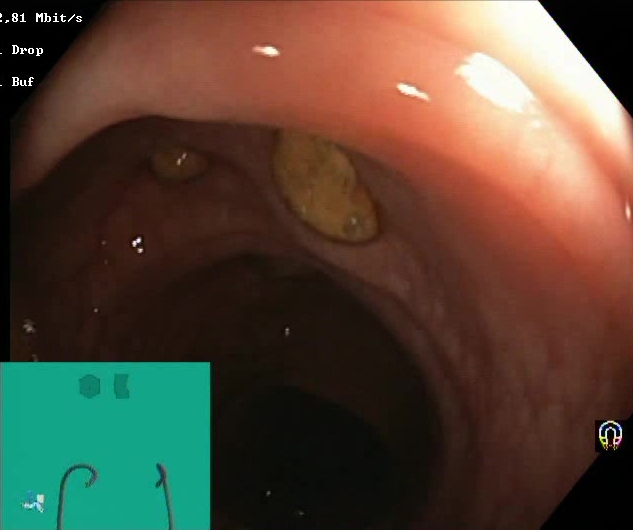{"modality": "lower gastrointestinal endoscopy", "finding": "impacted stool"}